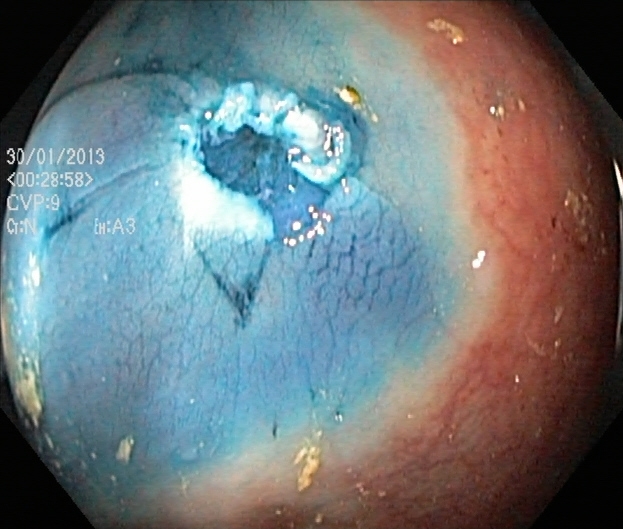modality: colonoscopy | finding: dyed resection margins (post-polypectomy)